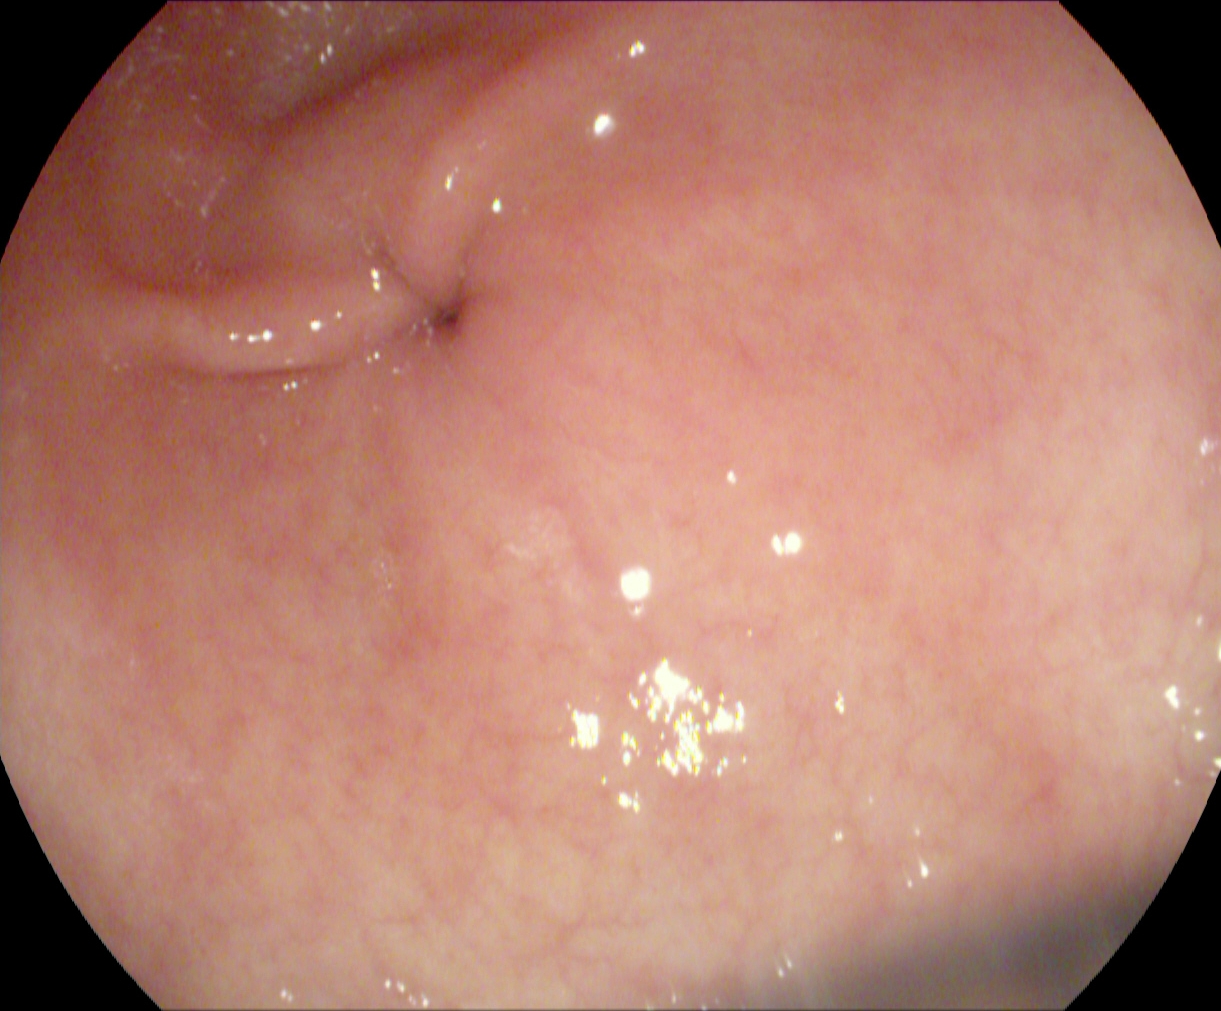This endoscopic image shows pylorus.